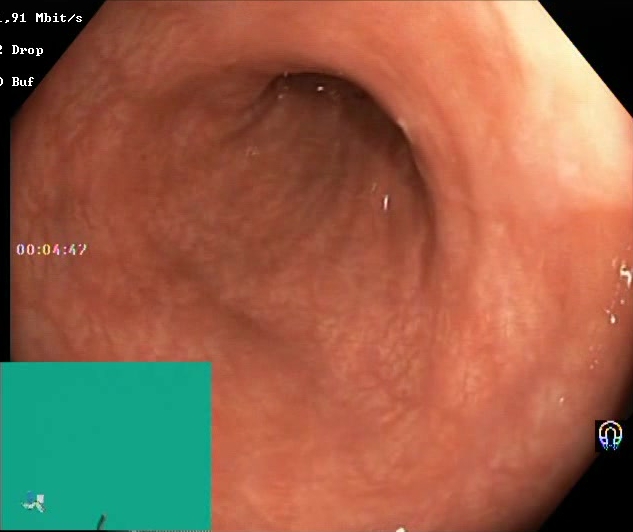Endoscopic image showing Boston Bowel Preparation Scale score 2–3 (adequate preparation).